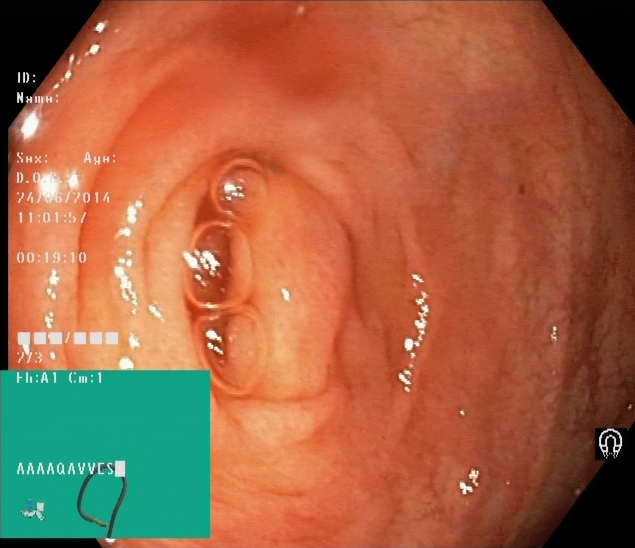{"modality": "colonoscopy", "finding": "cecum"}